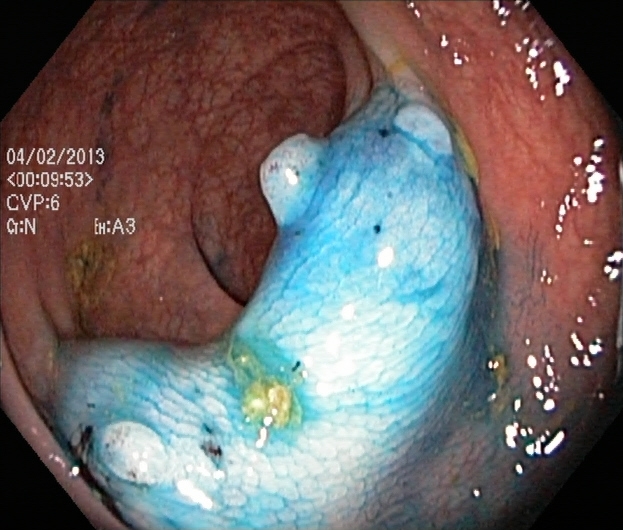PROCEDURE: Lower-GI endoscopy.
CATEGORY: Therapeutic intervention.
FINDINGS: Dyed and lifted polyp (pre-resection).